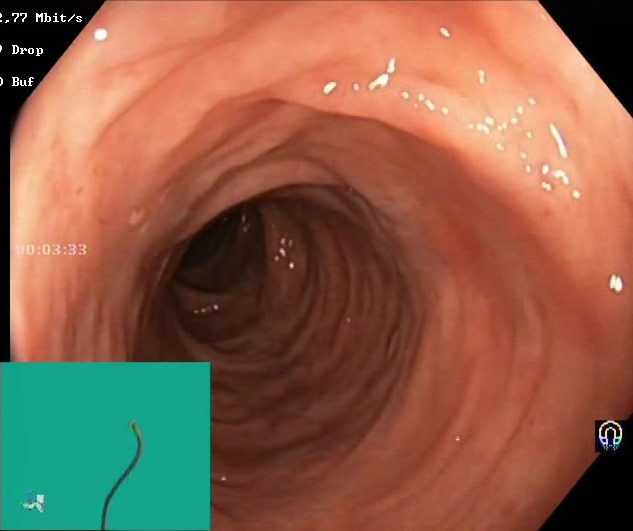Lower-GI endoscopy — Boston Bowel Preparation Scale score 2–3 (adequate preparation).